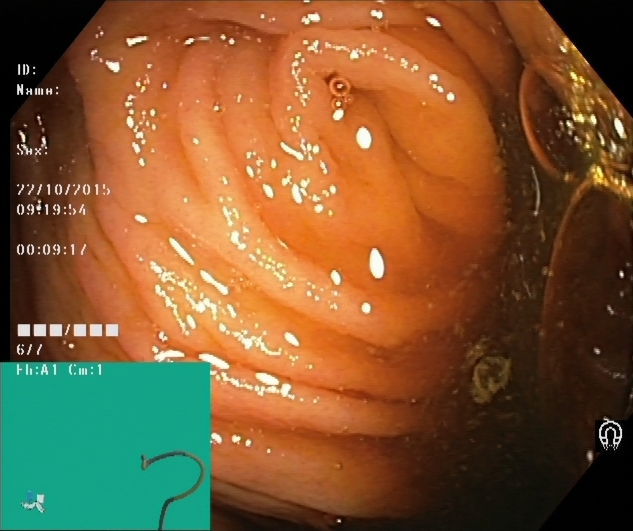Lower gastrointestinal endoscopy. Anatomical landmark. Finding: cecum.